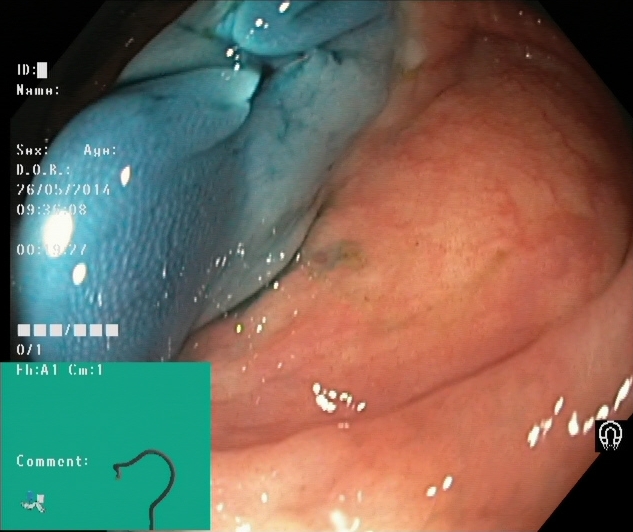{"modality": "colonoscopy", "category": "therapeutic intervention", "finding": "dyed resection margins (post-polypectomy)"}